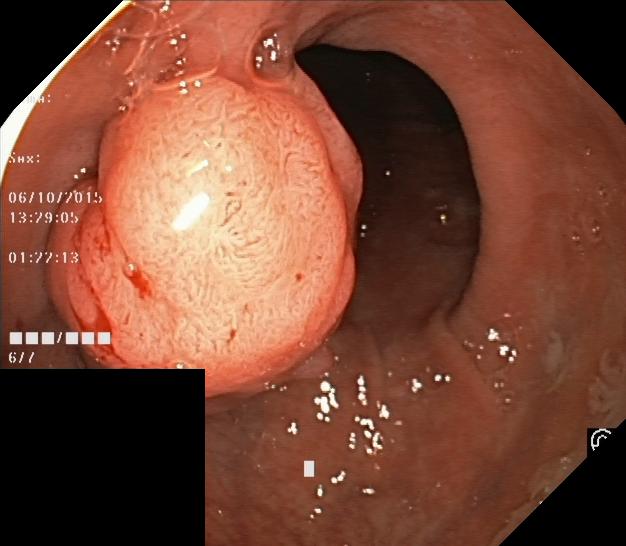Lower-GI endoscopy image of the lower GI tract showing colorectal polyp(s).